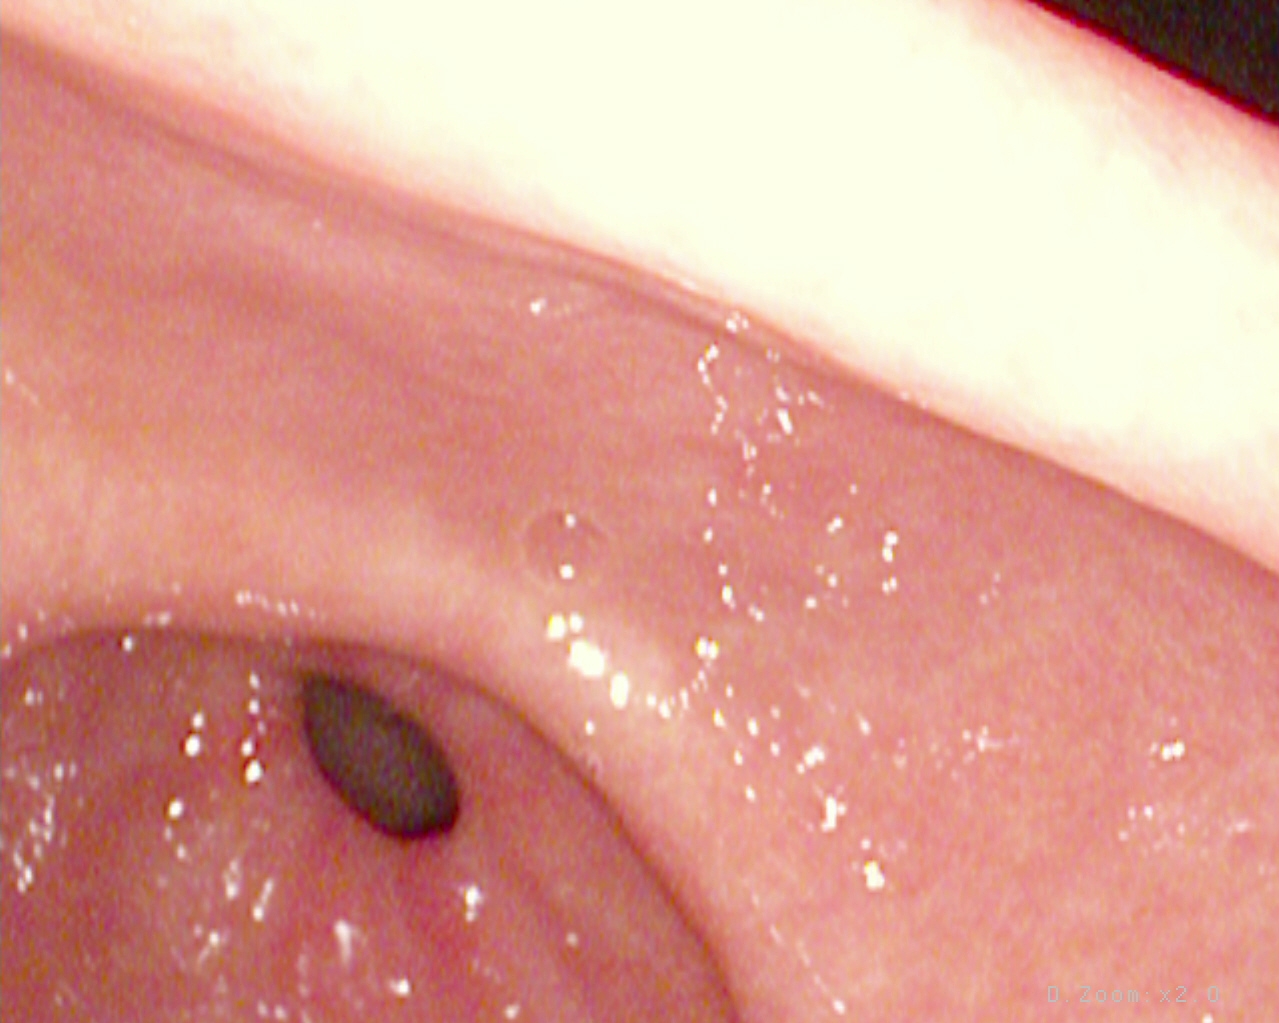Gastroscopy — pylorus.